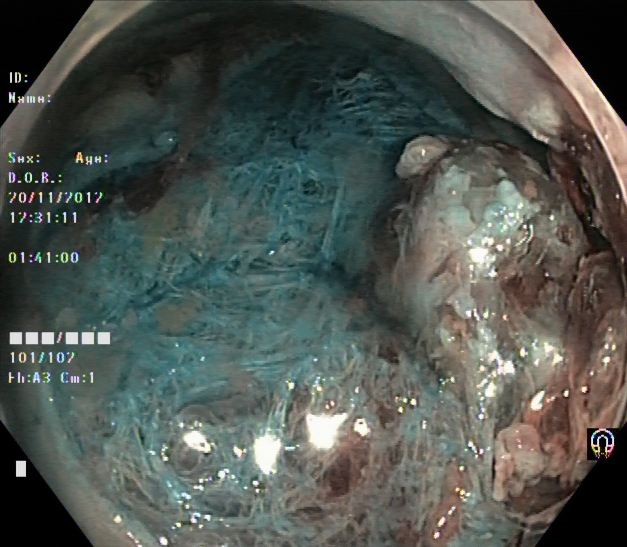Dyed resection margins (post-polypectomy).